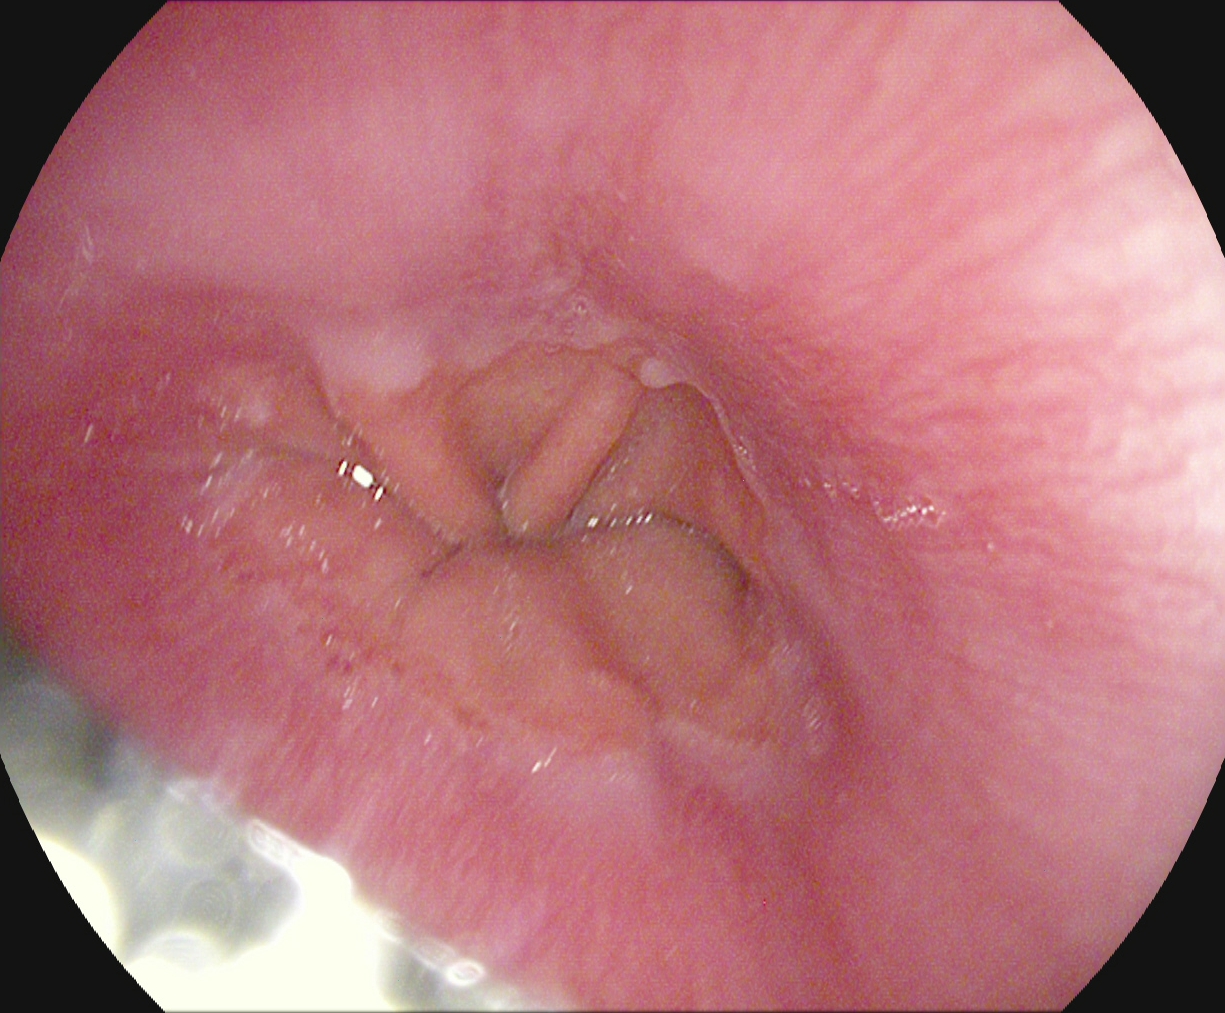modality: upper-GI endoscopy; tract: upper GI tract; finding: Z-line (gastroesophageal junction)